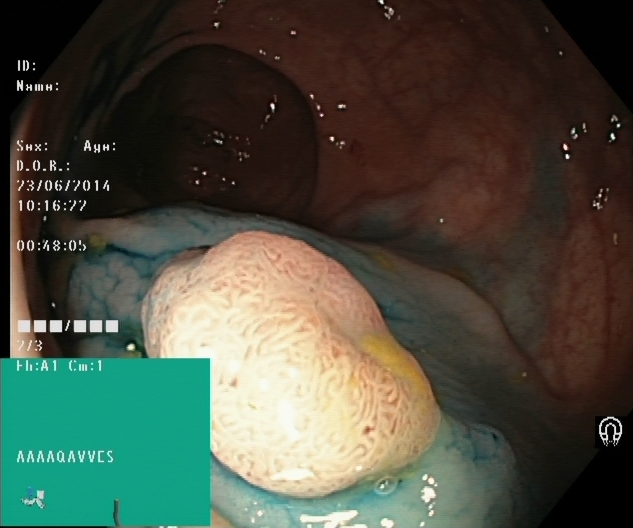{"modality": "colonoscopy", "tract": "lower GI tract", "category": "therapeutic intervention", "finding": "dyed and lifted polyp (pre-resection)"}